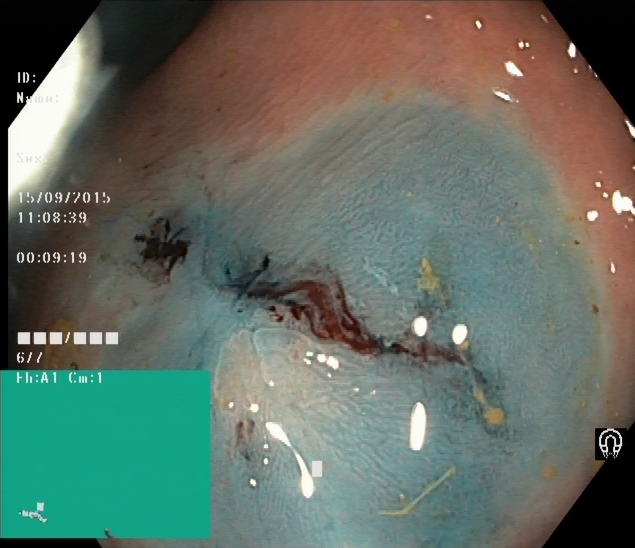Dyed and lifted polyp (pre-resection).